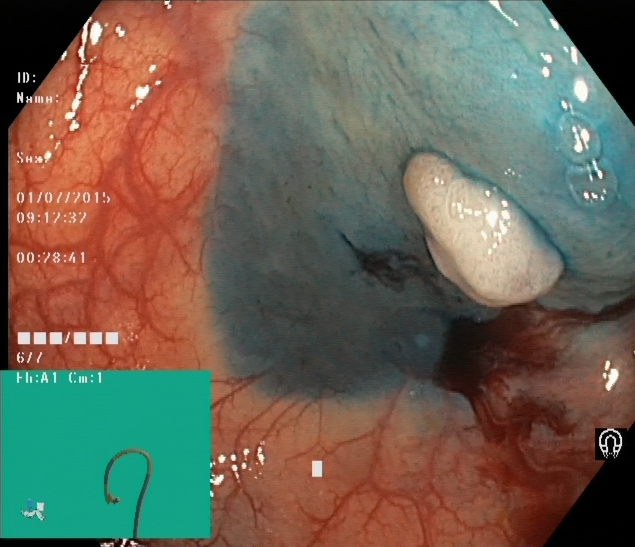PROCEDURE: Colonoscopy.
CATEGORY: Therapeutic intervention.
FINDINGS: Dyed and lifted polyp (pre-resection).